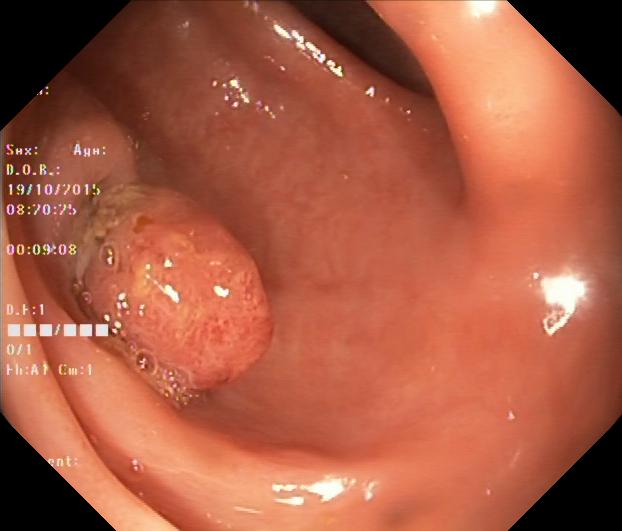Colorectal polyp(s).